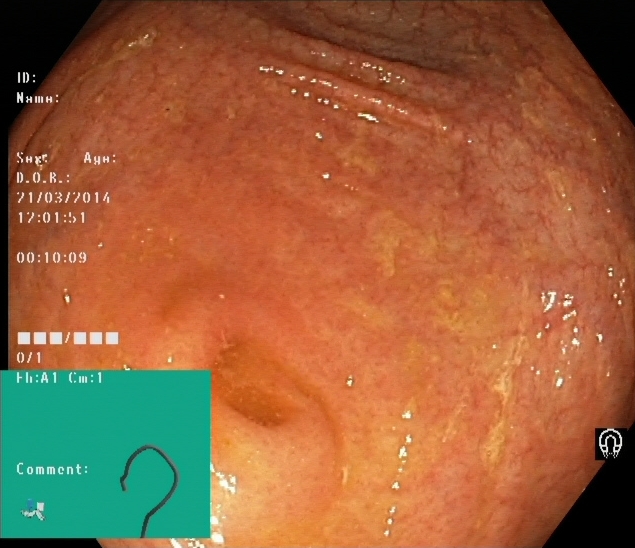Lower gastrointestinal endoscopy — cecum.